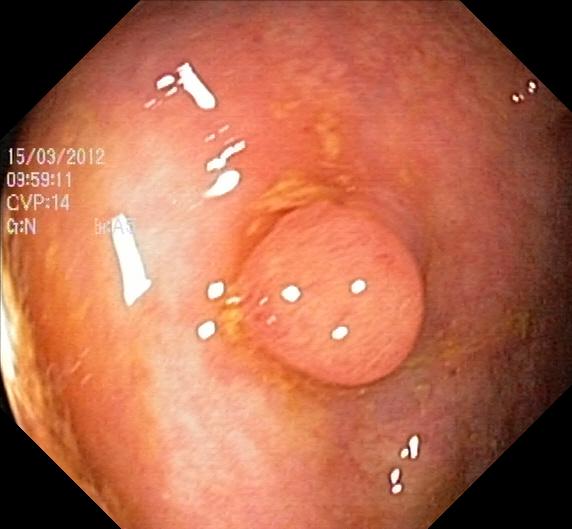PROCEDURE: Lower-GI endoscopy.
FINDINGS: Colorectal polyp(s).